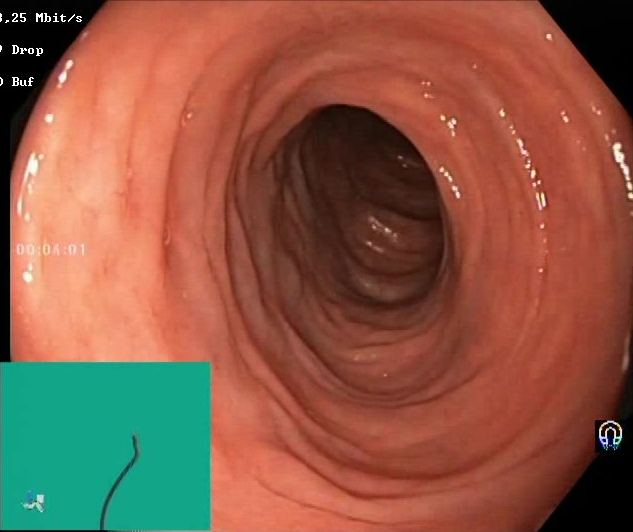modality: lower-GI endoscopy
tract: lower GI tract
category: mucosal-view quality
finding: BBPS score 2–3 (adequate preparation)